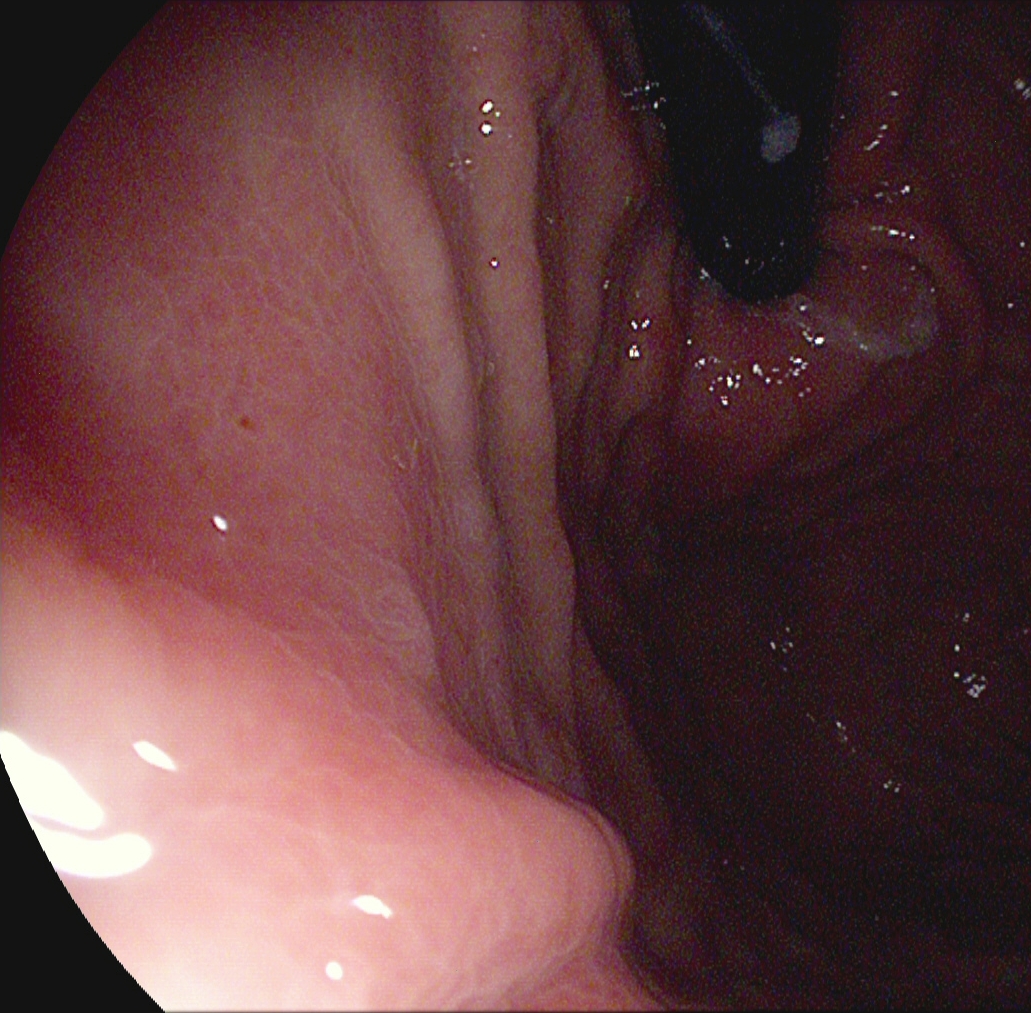Stomach in retroflexion.